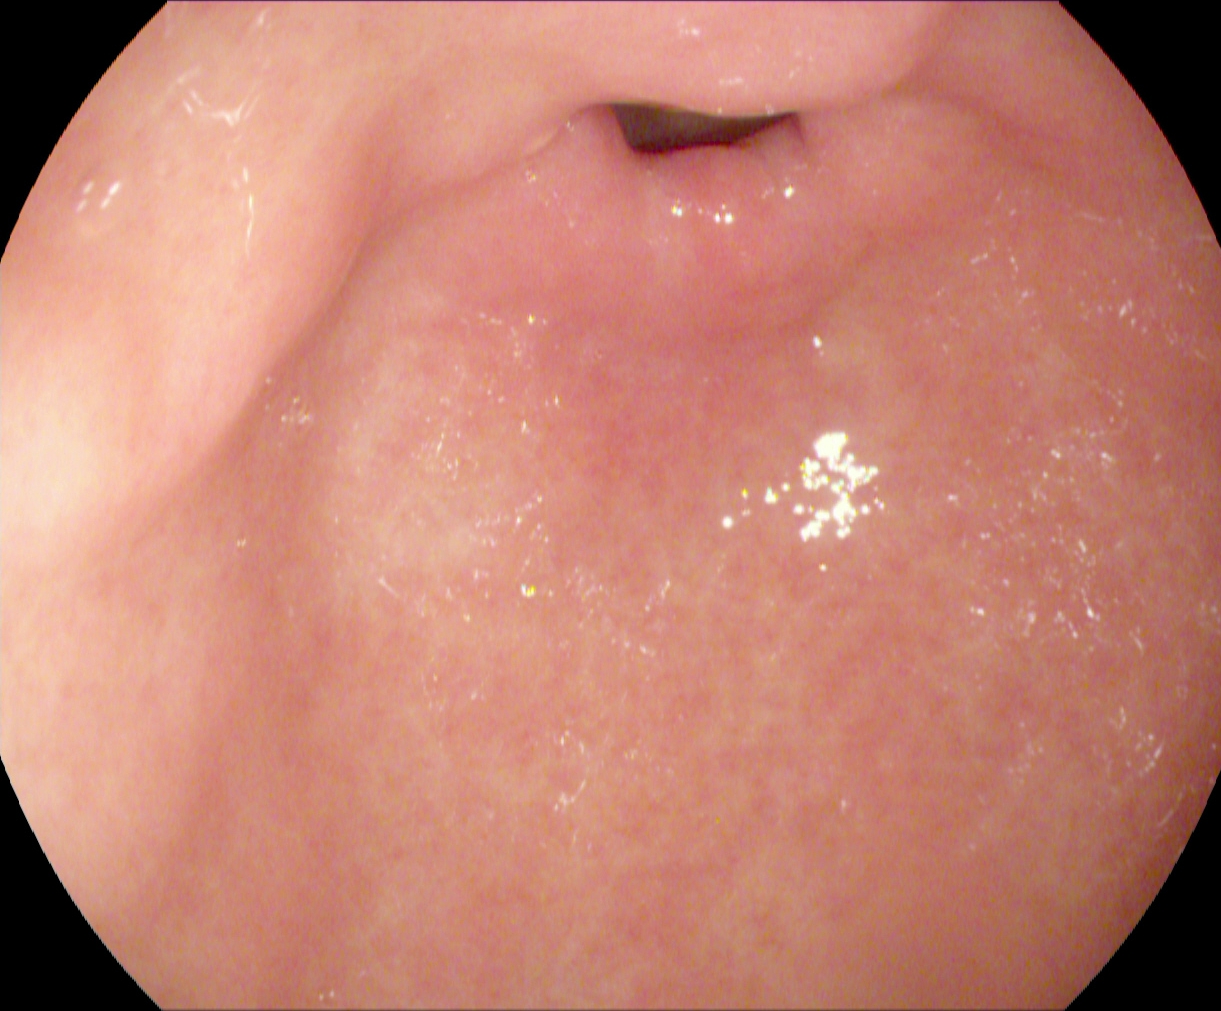Pylorus.